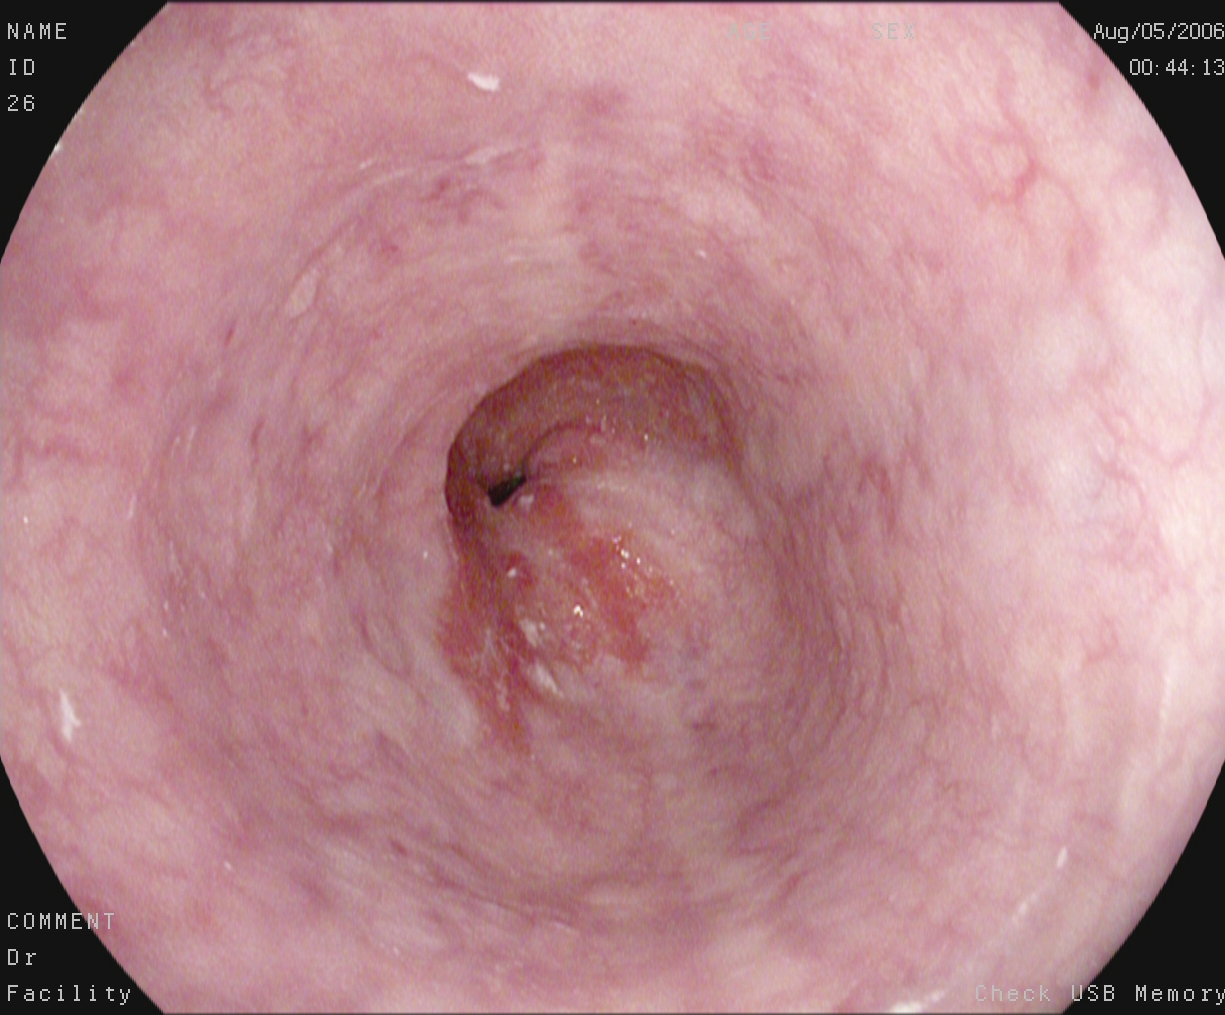{"modality": "gastroscopy", "tract": "upper GI tract", "category": "pathological finding", "finding": "reflux esophagitis, Los Angeles grade B\u2013D"}